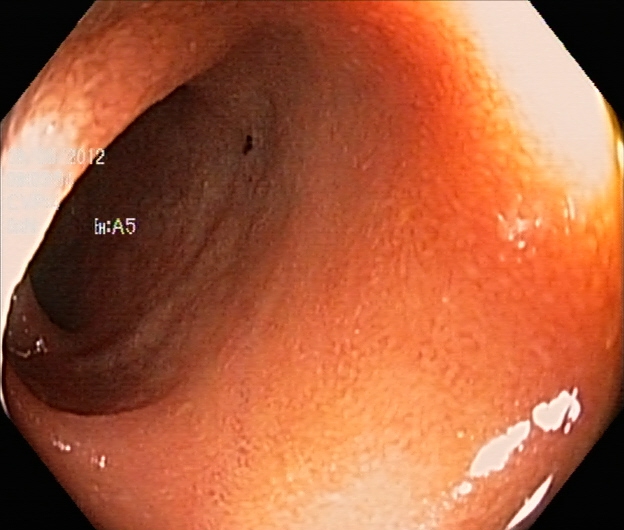Endoscopy image showing ulcerative colitis, Mayo endoscopic subscore 2.